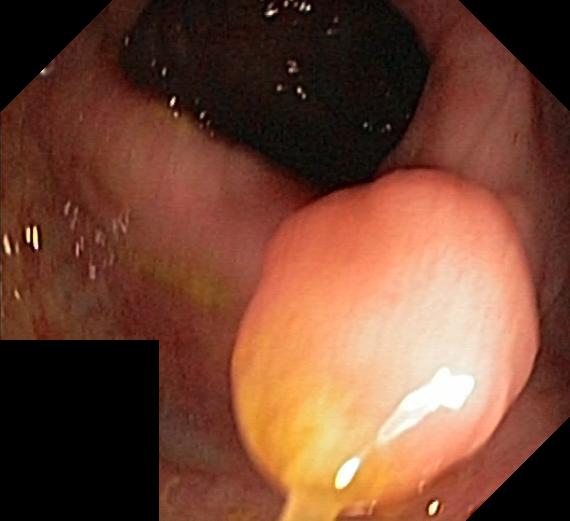modality: colonoscopy
tract: lower GI tract
category: pathological finding
finding: colorectal polyp(s)